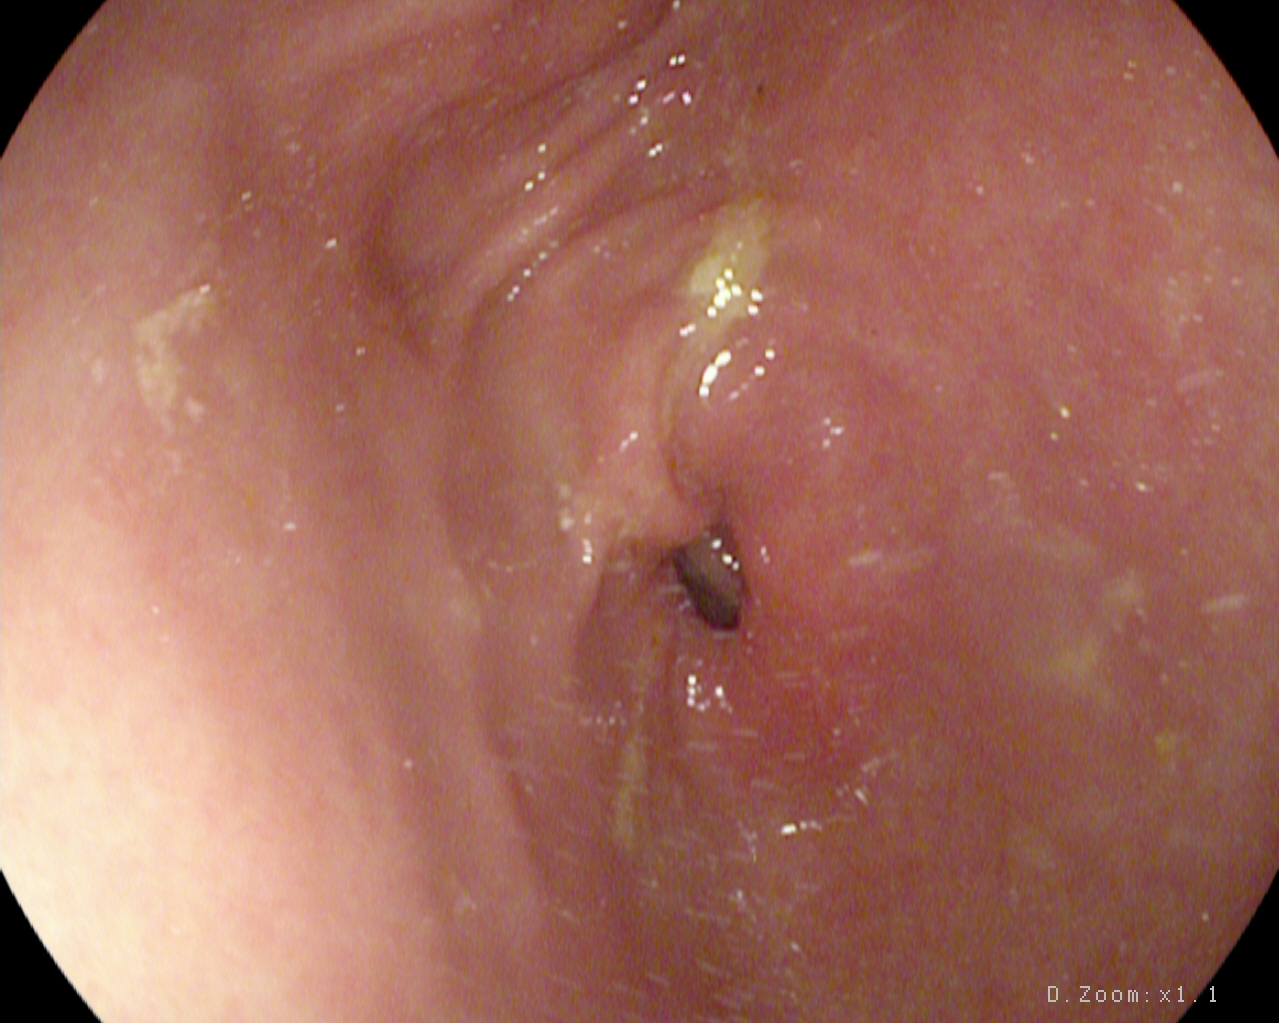Gastroscopy — pylorus.